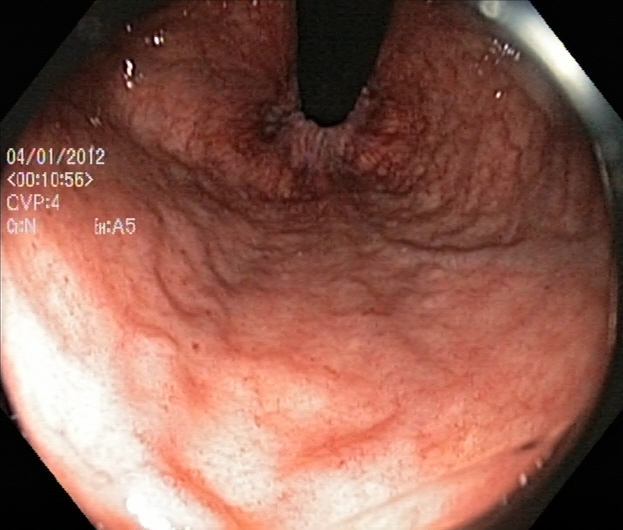This endoscopy frame of the lower GI tract shows rectum in retroflexion.